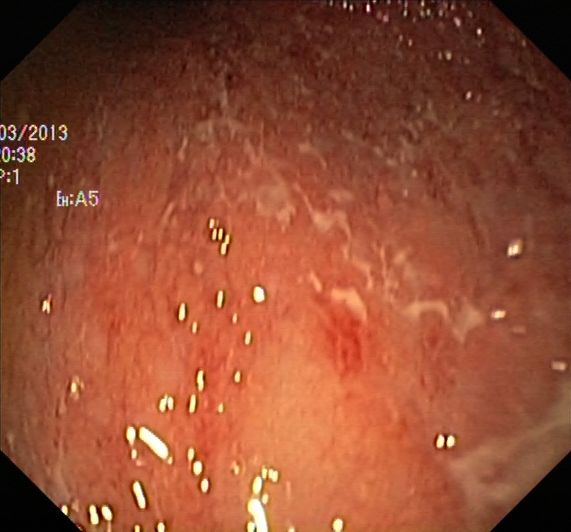Colonoscopy. Tract: lower GI tract. Pathological finding. Finding: ulcerative colitis, Mayo endoscopic subscore 2.